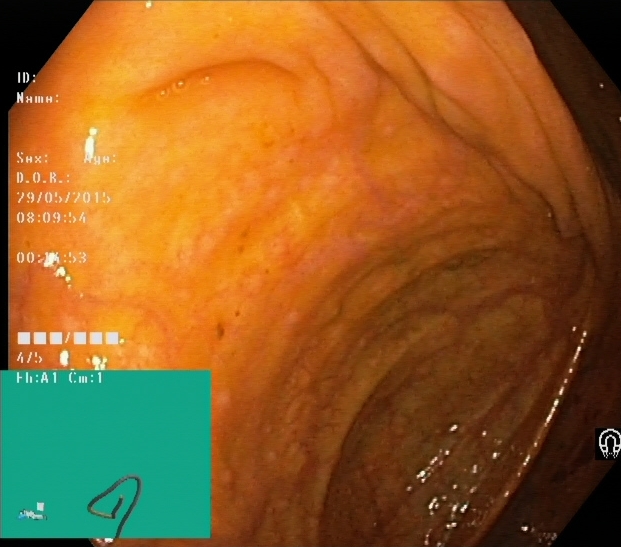Lower-GI endoscopy. Tract: lower GI tract. Finding: cecum.